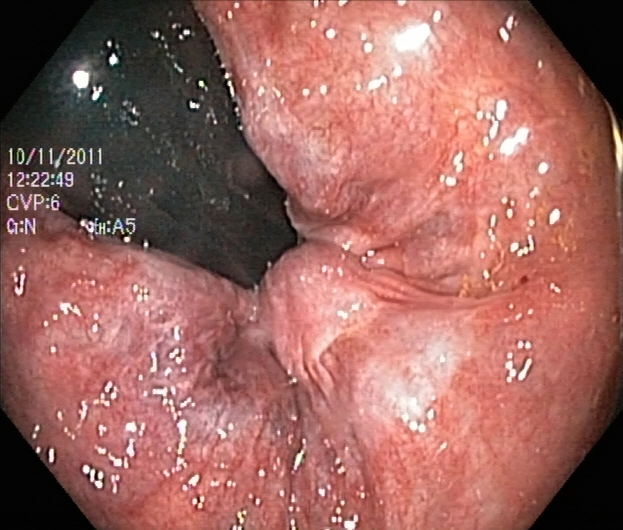Lower gastrointestinal endoscopy image of the lower GI tract showing rectum in retroflexion.